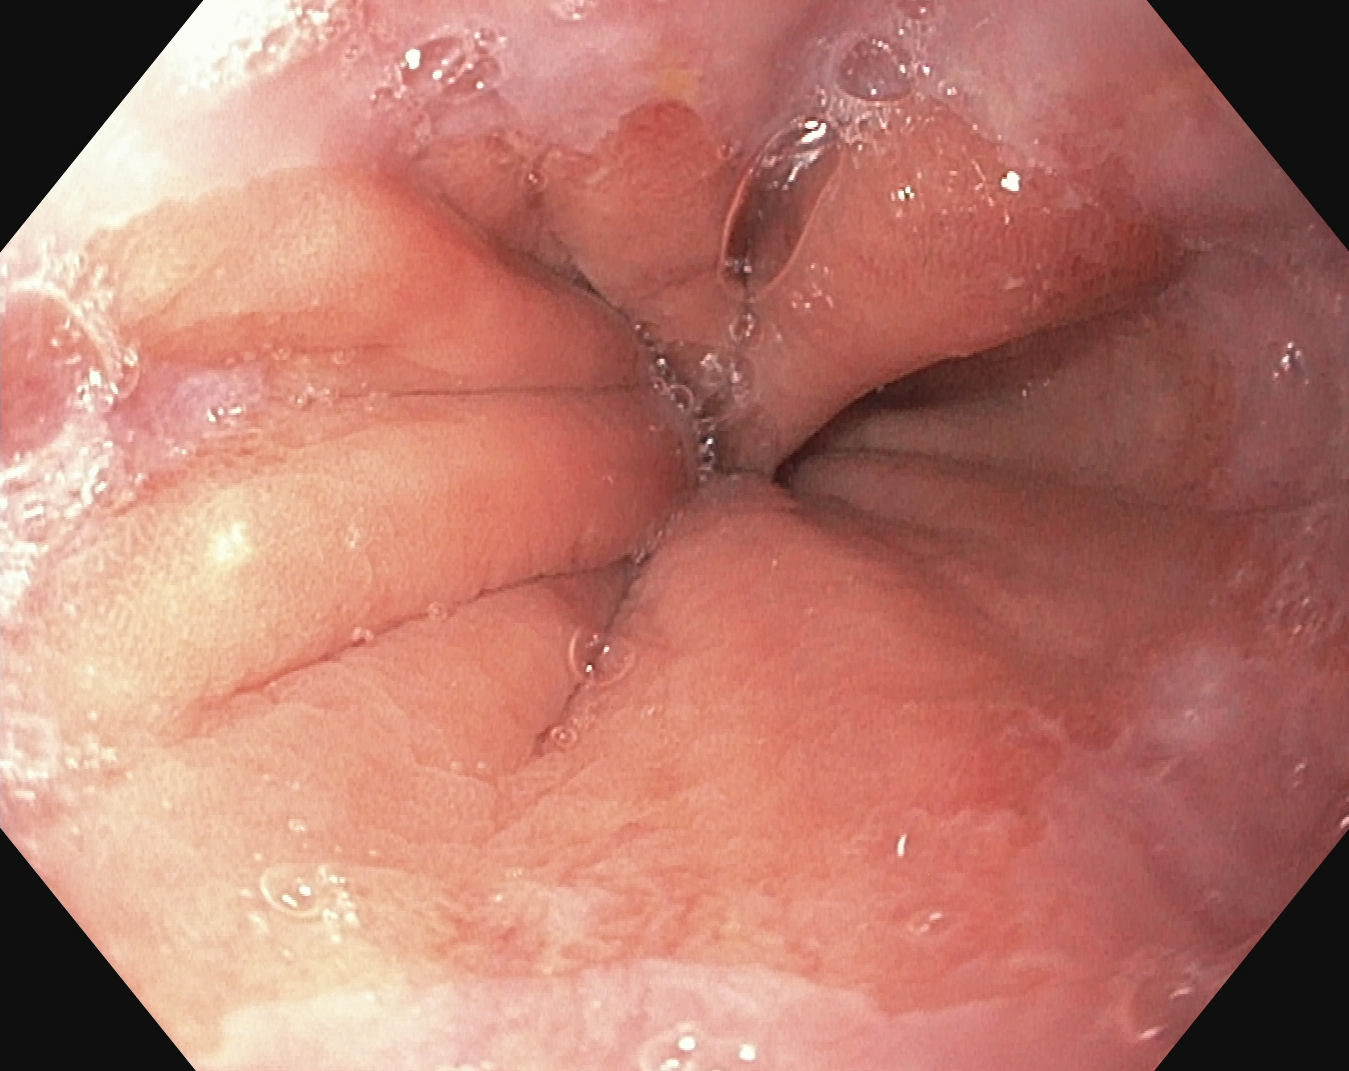Z-line (gastroesophageal junction).